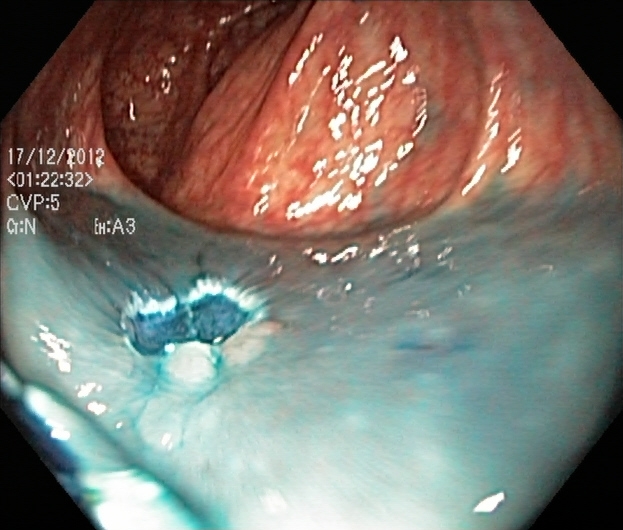{"modality": "lower gastrointestinal endoscopy", "finding": "dyed resection margins (post-polypectomy)"}